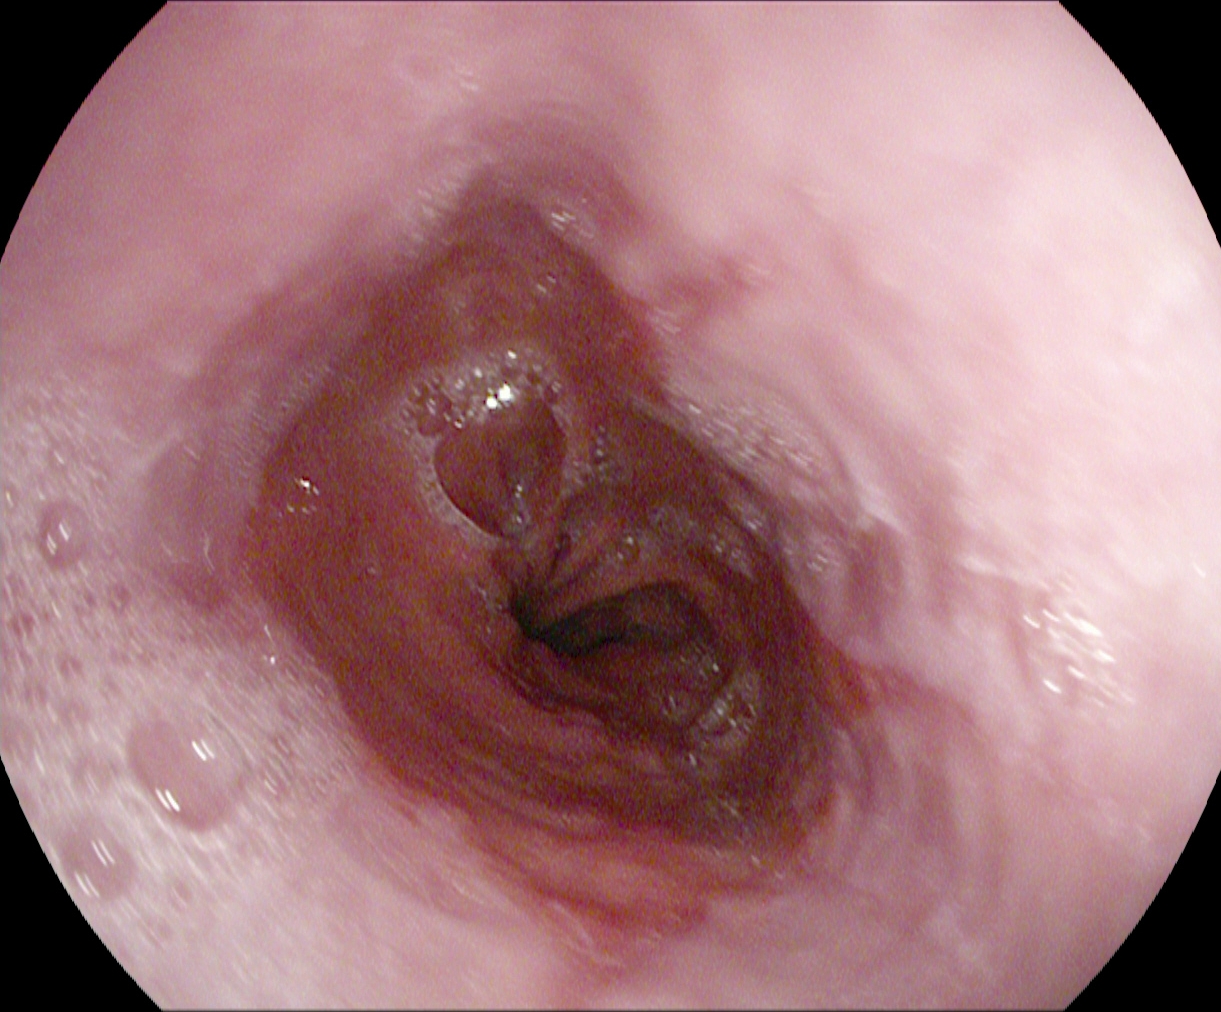Upper-GI endoscopy. Pathological finding. Finding: reflux esophagitis, LA grade A.